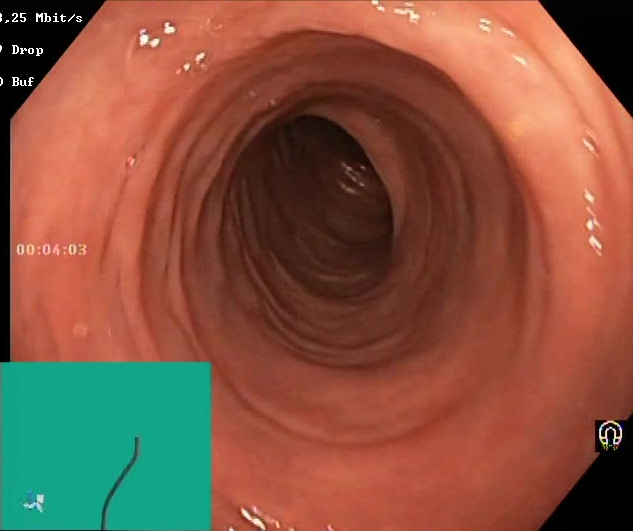{"modality": "colonoscopy", "tract": "lower GI tract", "category": "mucosal-view quality", "finding": "BBPS score 2\u20133 (adequate preparation)"}